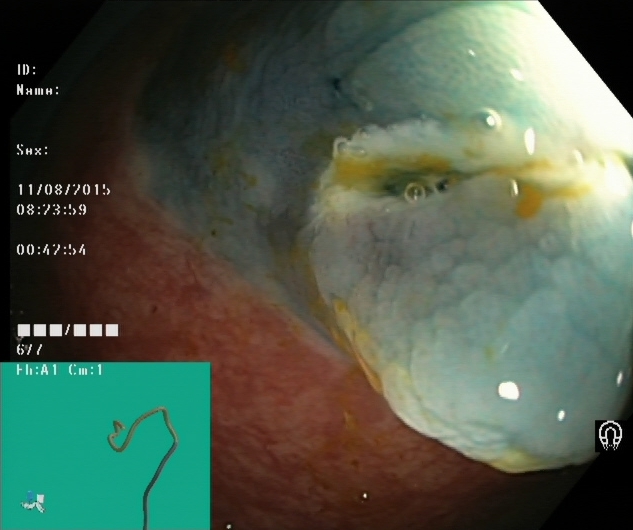Colonoscopy — dyed resection margins (post-polypectomy).